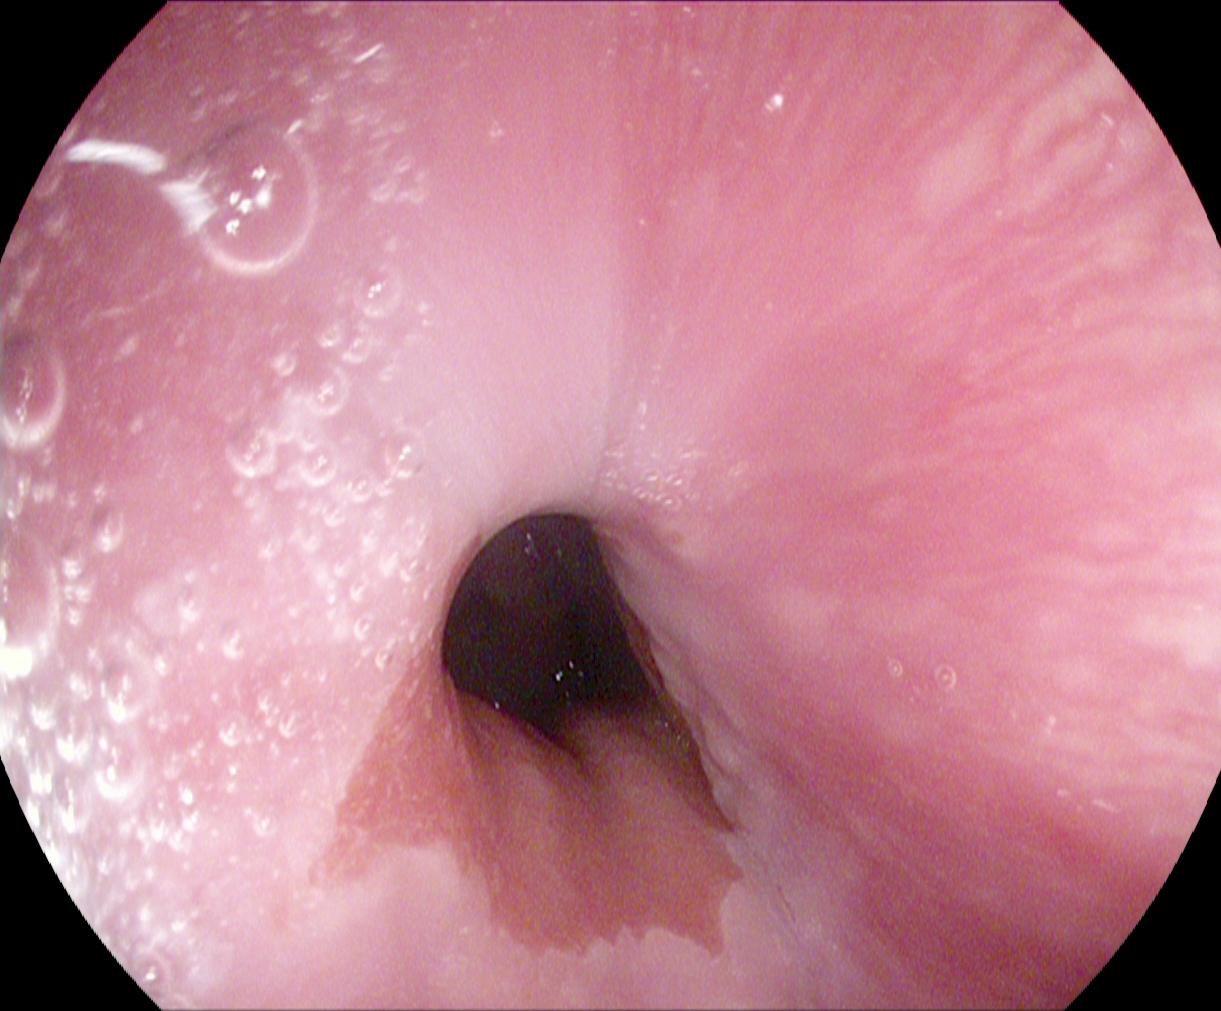PROCEDURE: Gastroscopy.
FINDINGS: Z-line (gastroesophageal junction).